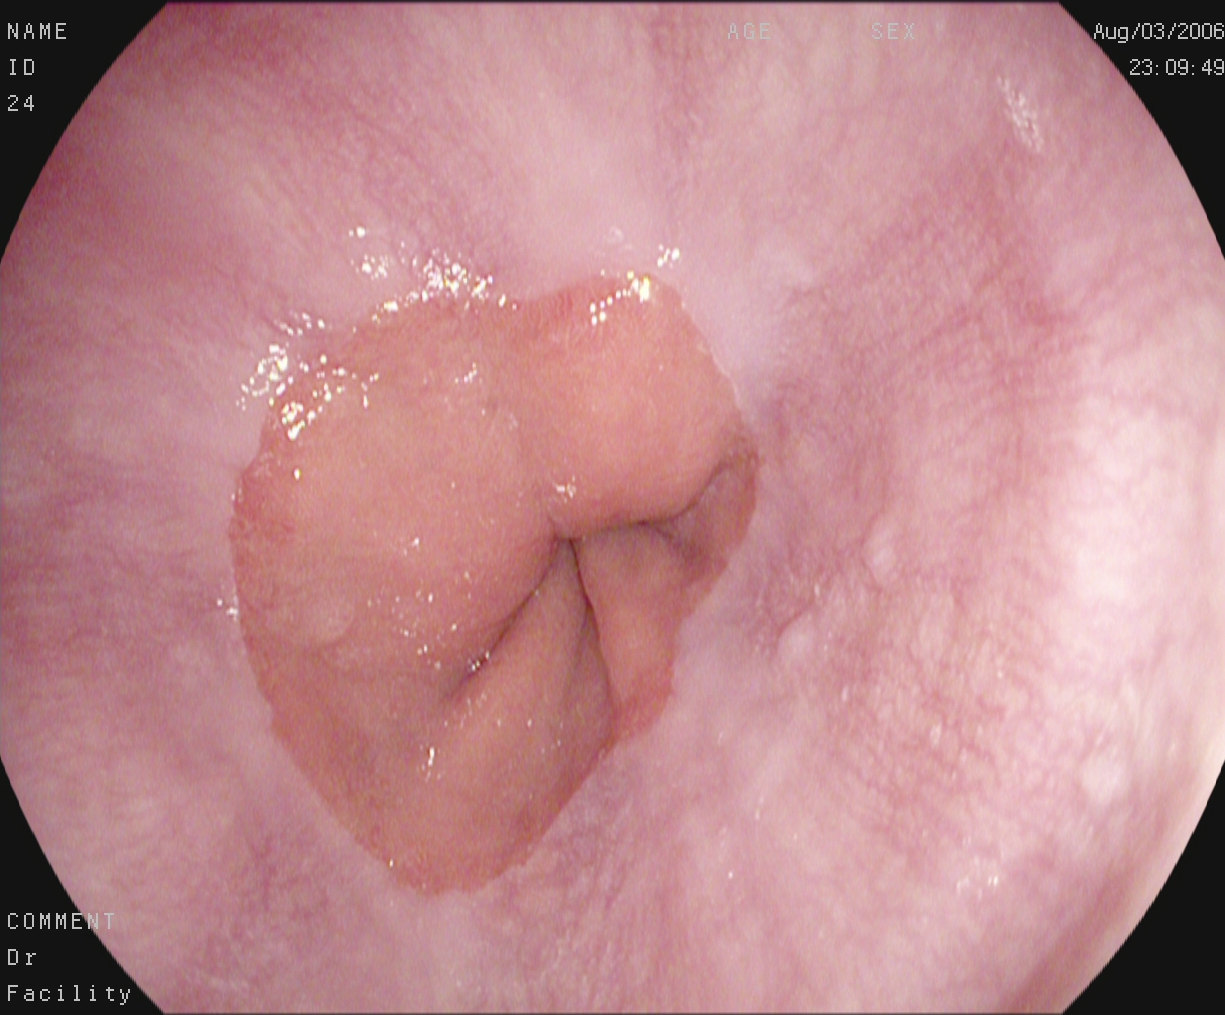Z-line (gastroesophageal junction).